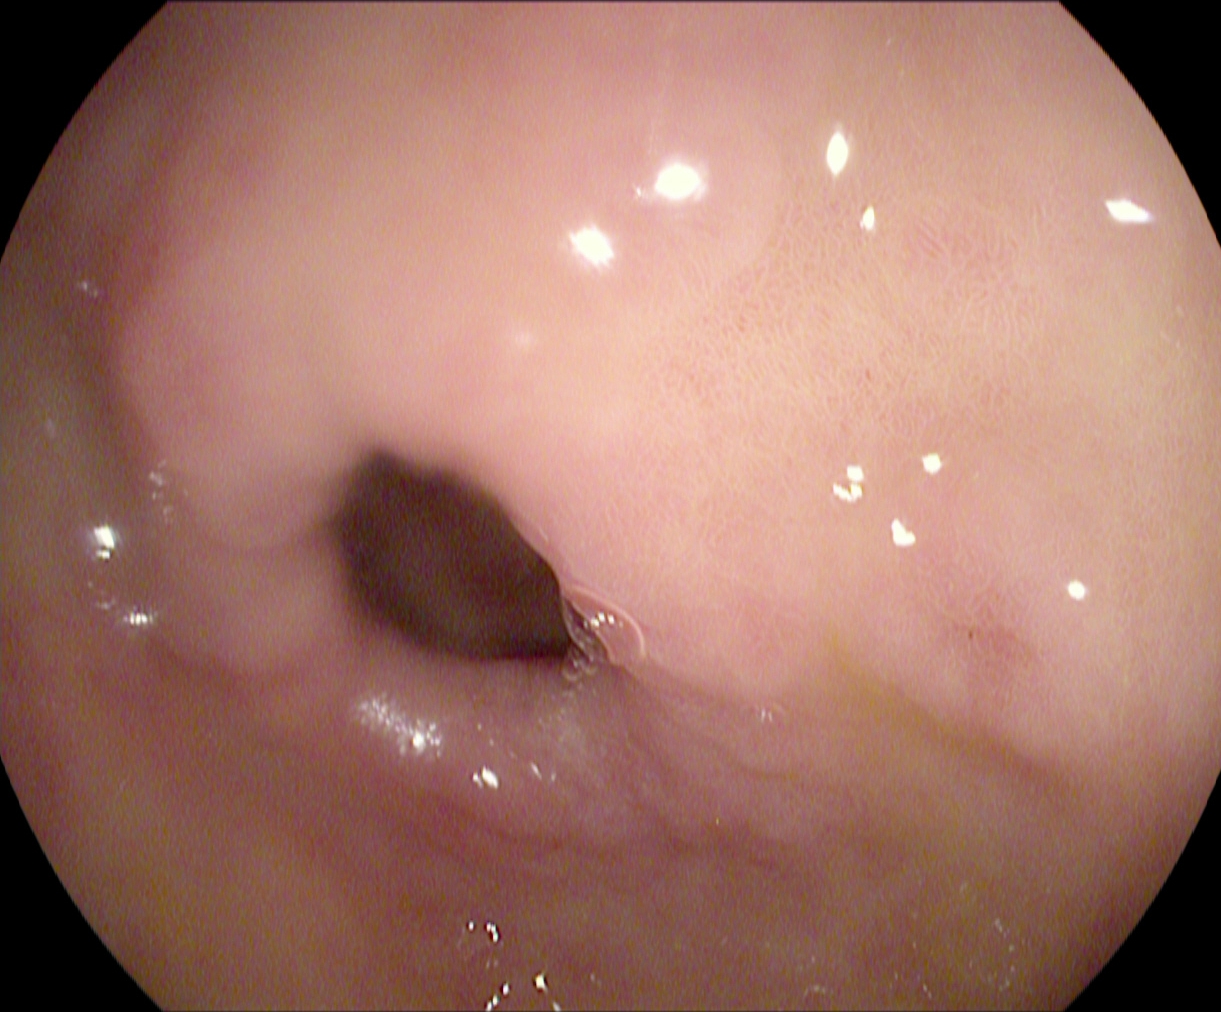Upper-GI endoscopy. Anatomical landmark. Finding: pylorus.